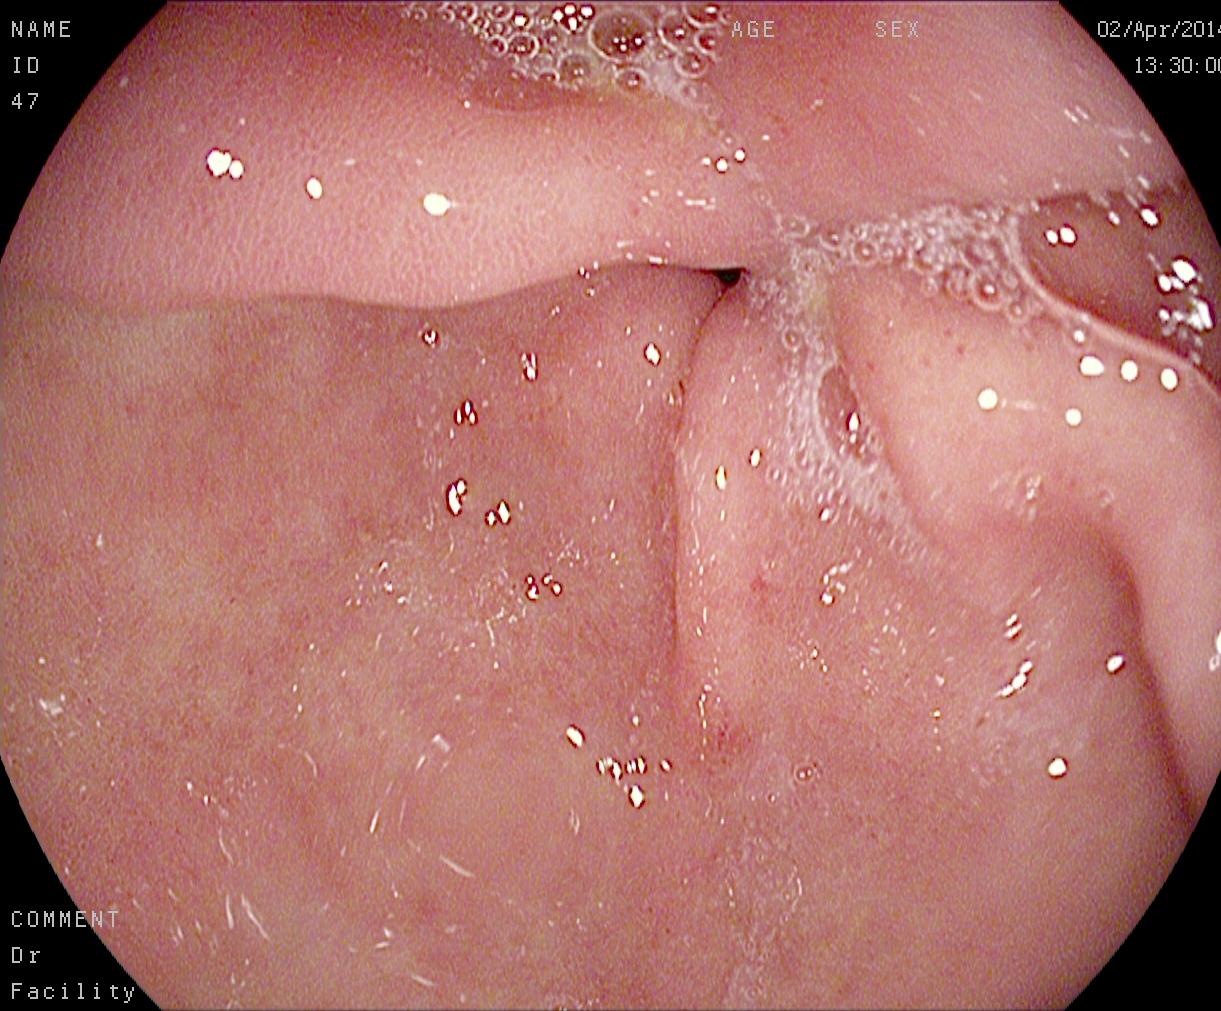EGD — pylorus.